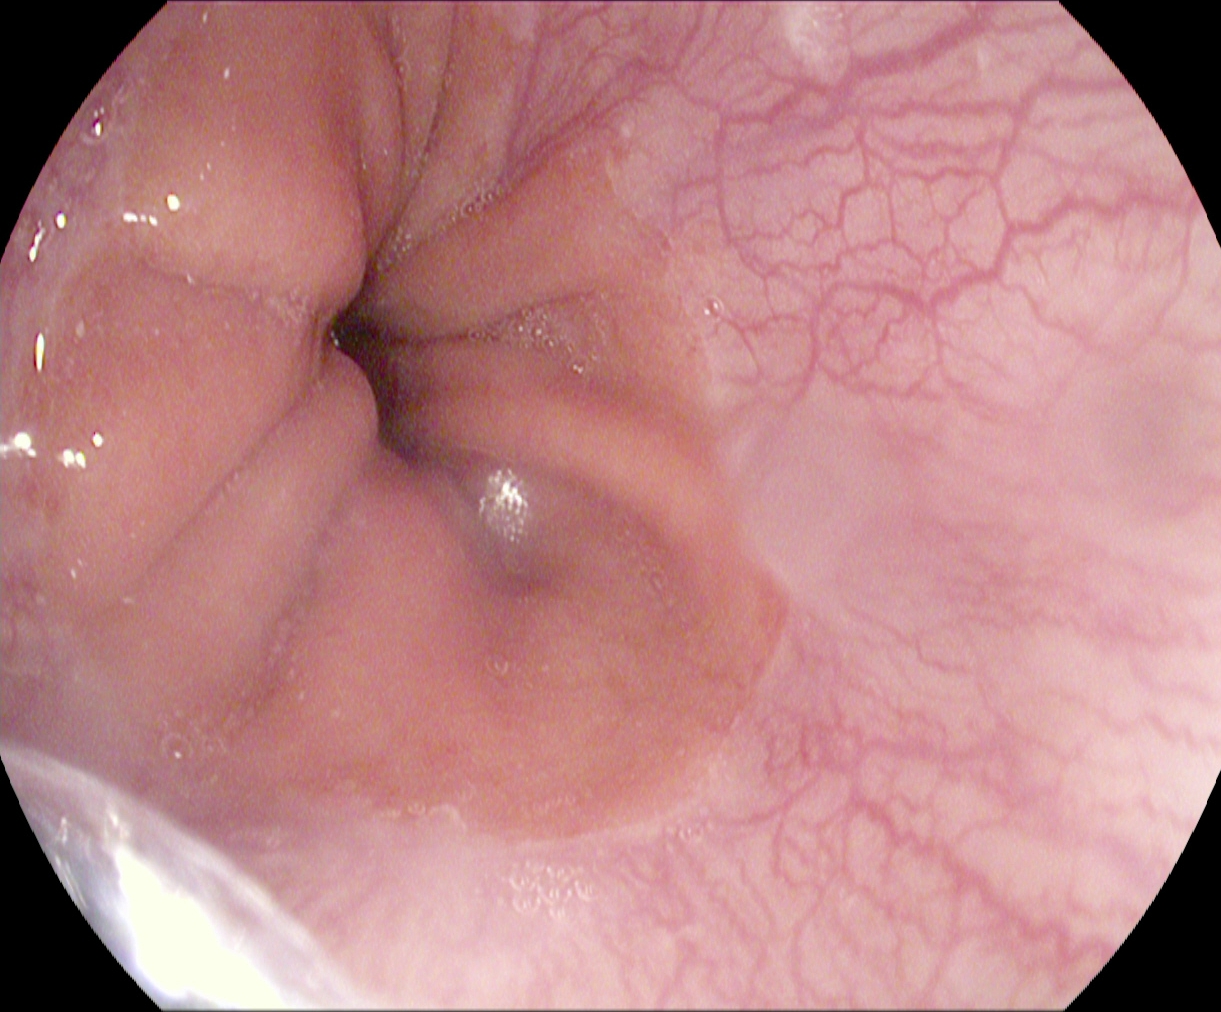Endoscopic frame showing Z-line (gastroesophageal junction).